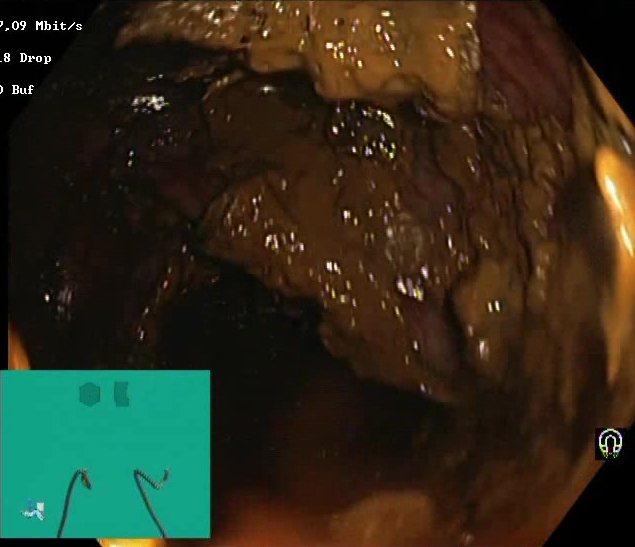Boston Bowel Preparation Scale score 0–1 (inadequate preparation).